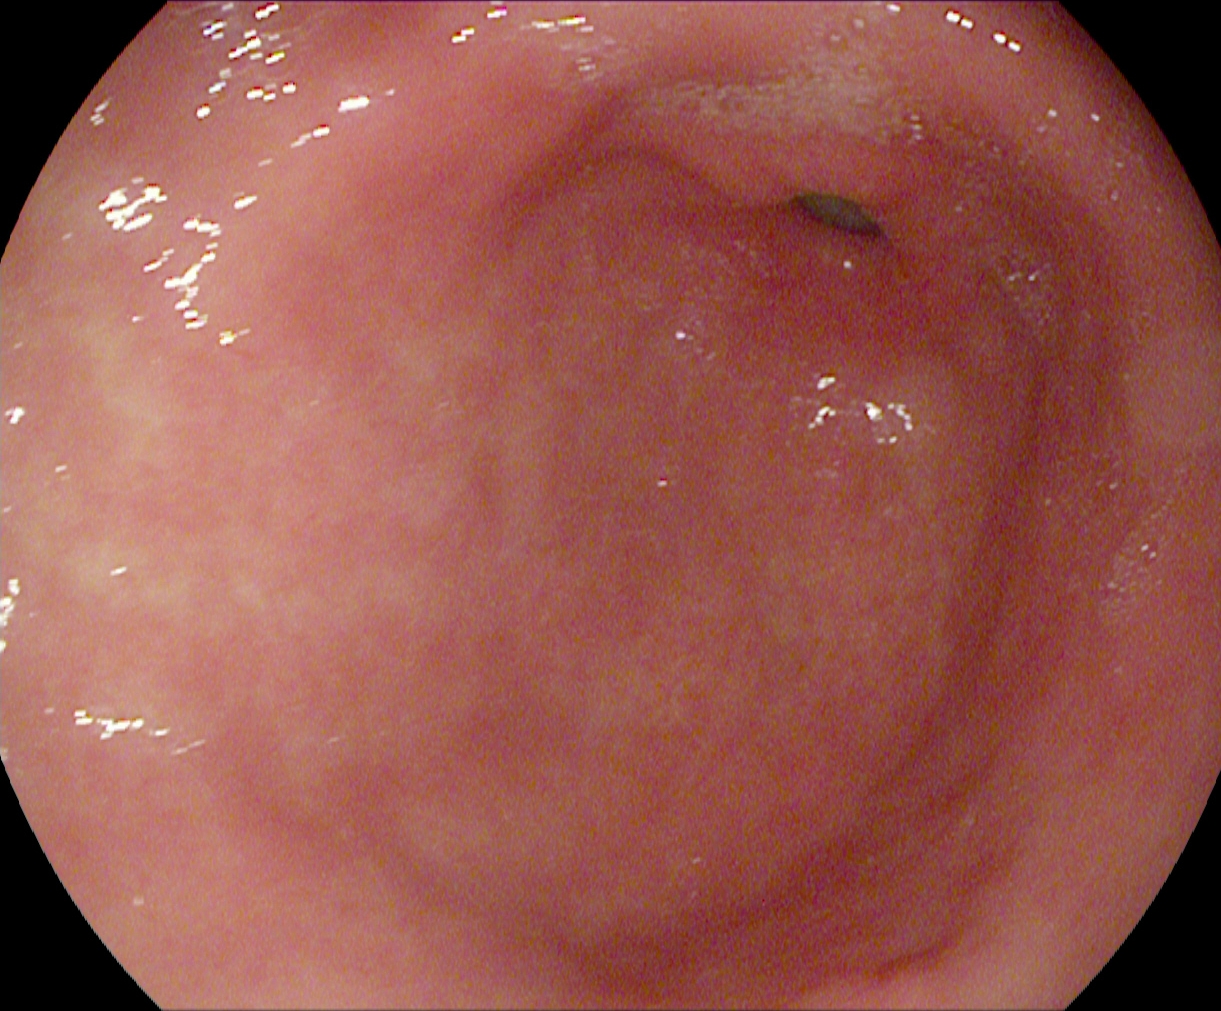Pylorus.